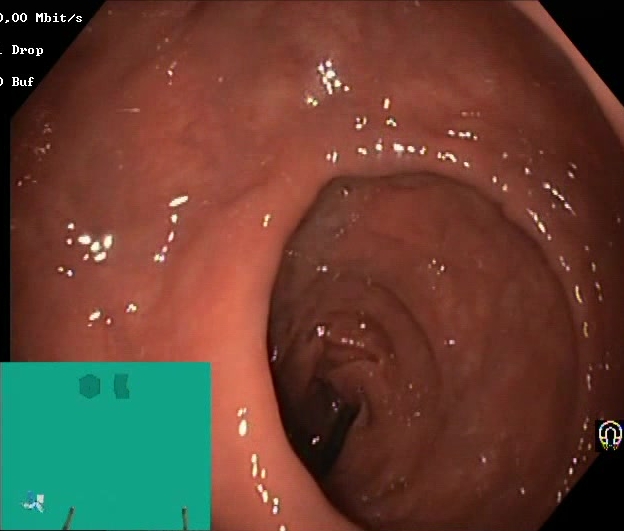BBPS score 2–3 (adequate preparation).